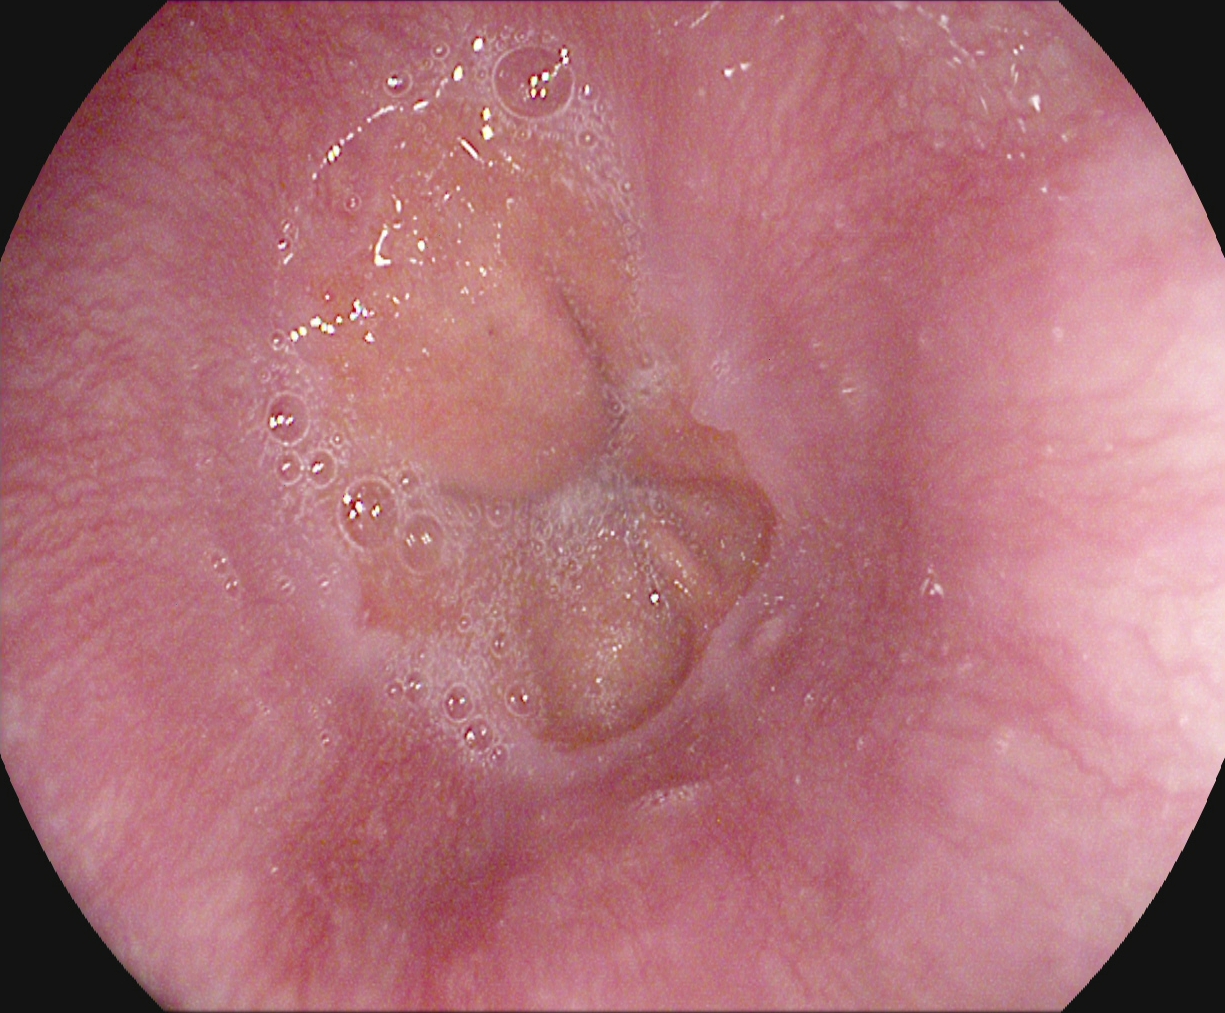{"modality": "upper-GI endoscopy", "finding": "Z-line (gastroesophageal junction)"}